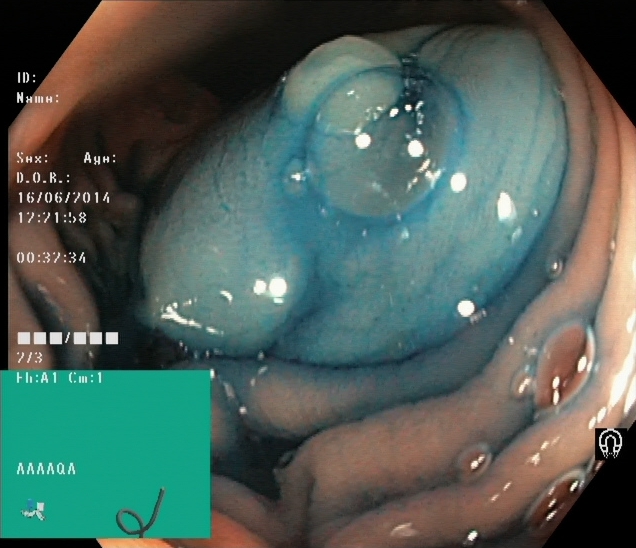This endoscopic image of the lower GI tract shows dyed and lifted polyp (pre-resection).